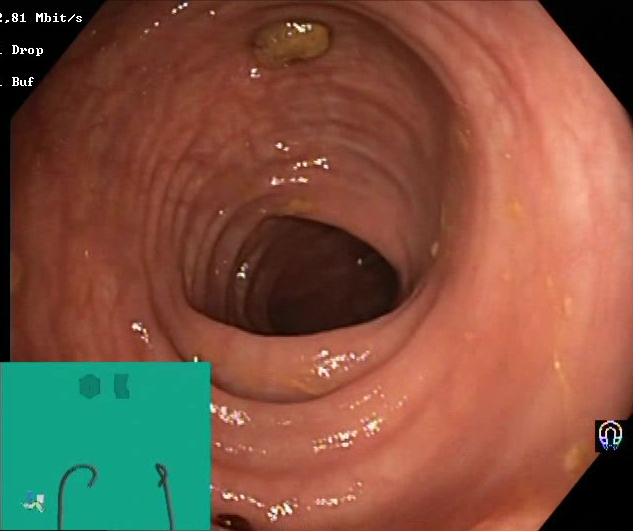Colonoscopy. Tract: lower GI tract. Finding: impacted stool.